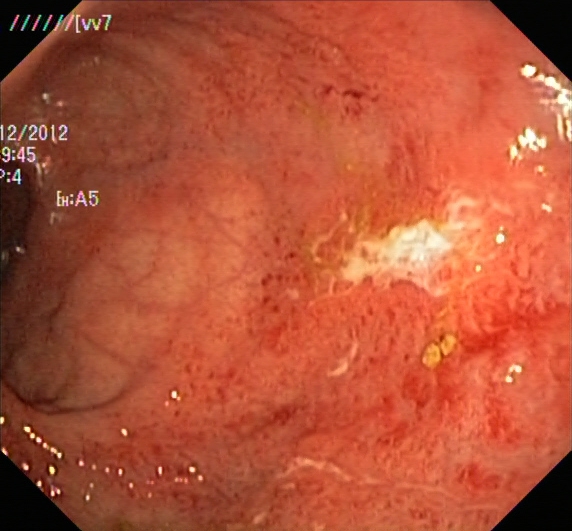modality: colonoscopy
tract: lower GI tract
finding: ulcerative colitis, Mayo endoscopic subscore 1–2